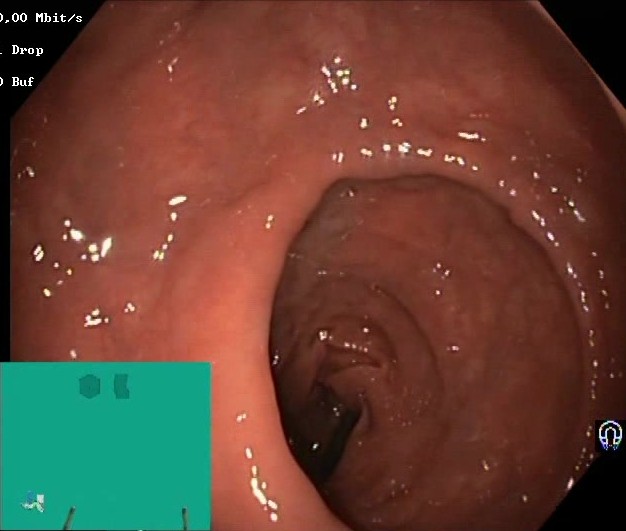{"modality": "lower gastrointestinal endoscopy", "tract": "lower GI tract", "category": "mucosal-view quality", "finding": "BBPS score 2\u20133 (adequate preparation)"}